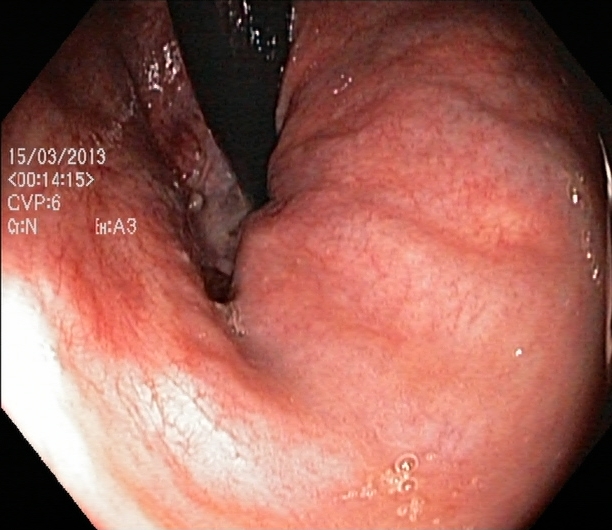PROCEDURE: Colonoscopy.
CATEGORY: Anatomical landmark.
FINDINGS: Rectum in retroflexion.